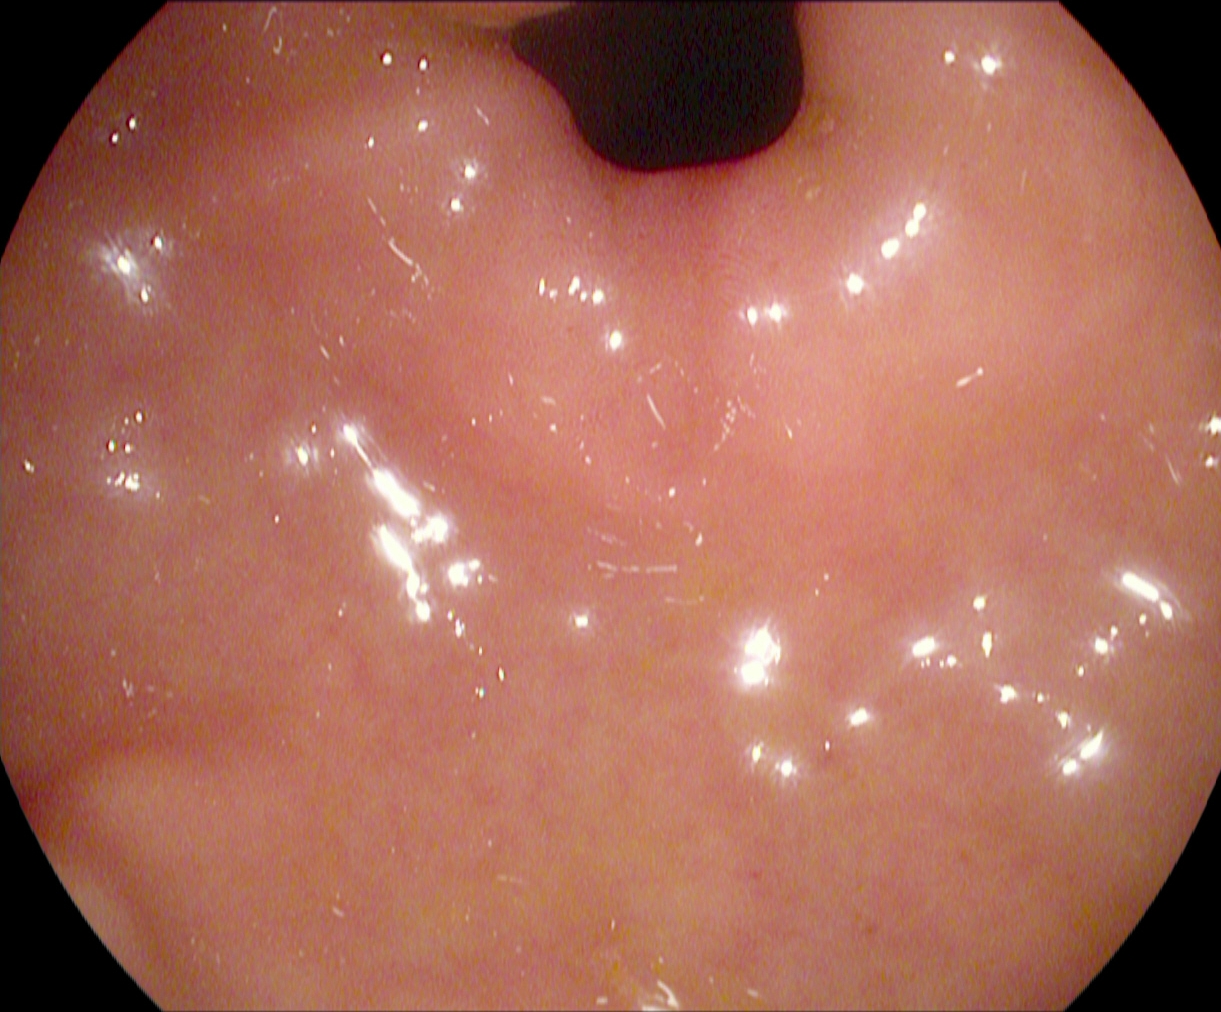modality: upper-GI endoscopy; tract: upper GI tract; finding: pylorus